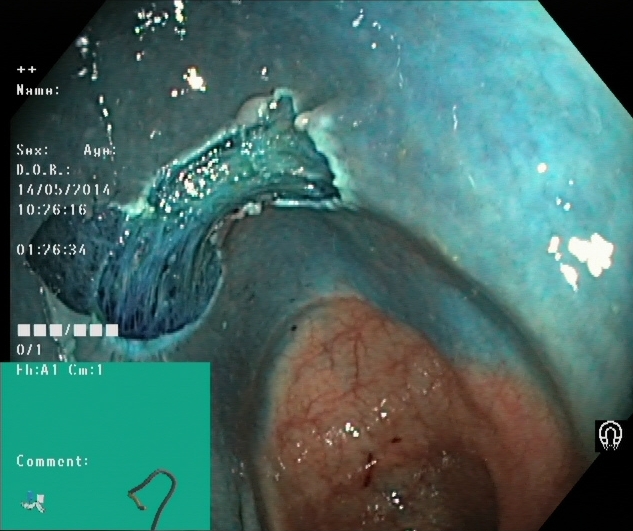PROCEDURE: Colonoscopy.
FINDINGS: Dyed resection margins (post-polypectomy).